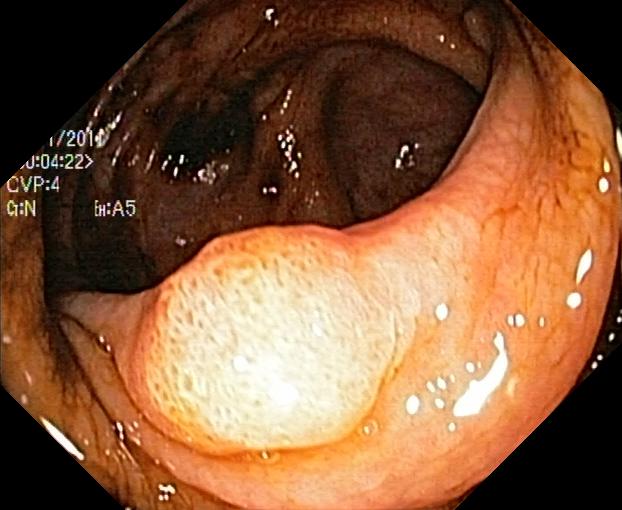{"modality": "lower-GI endoscopy", "tract": "lower GI tract", "finding": "colorectal polyp(s)"}